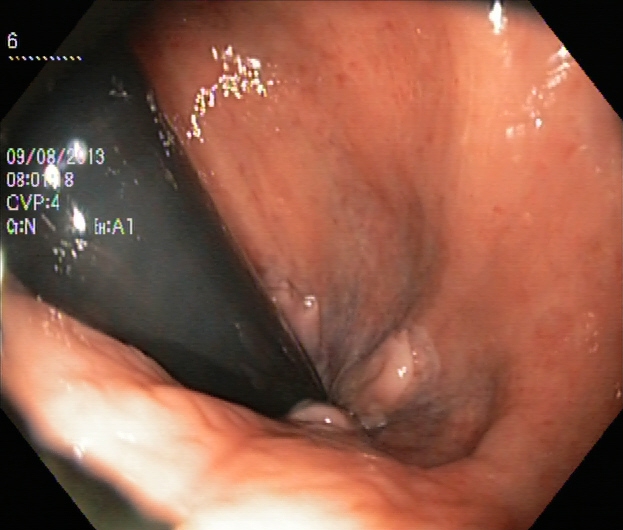Colonoscopy. Tract: lower GI tract. Finding: rectum in retroflexion.